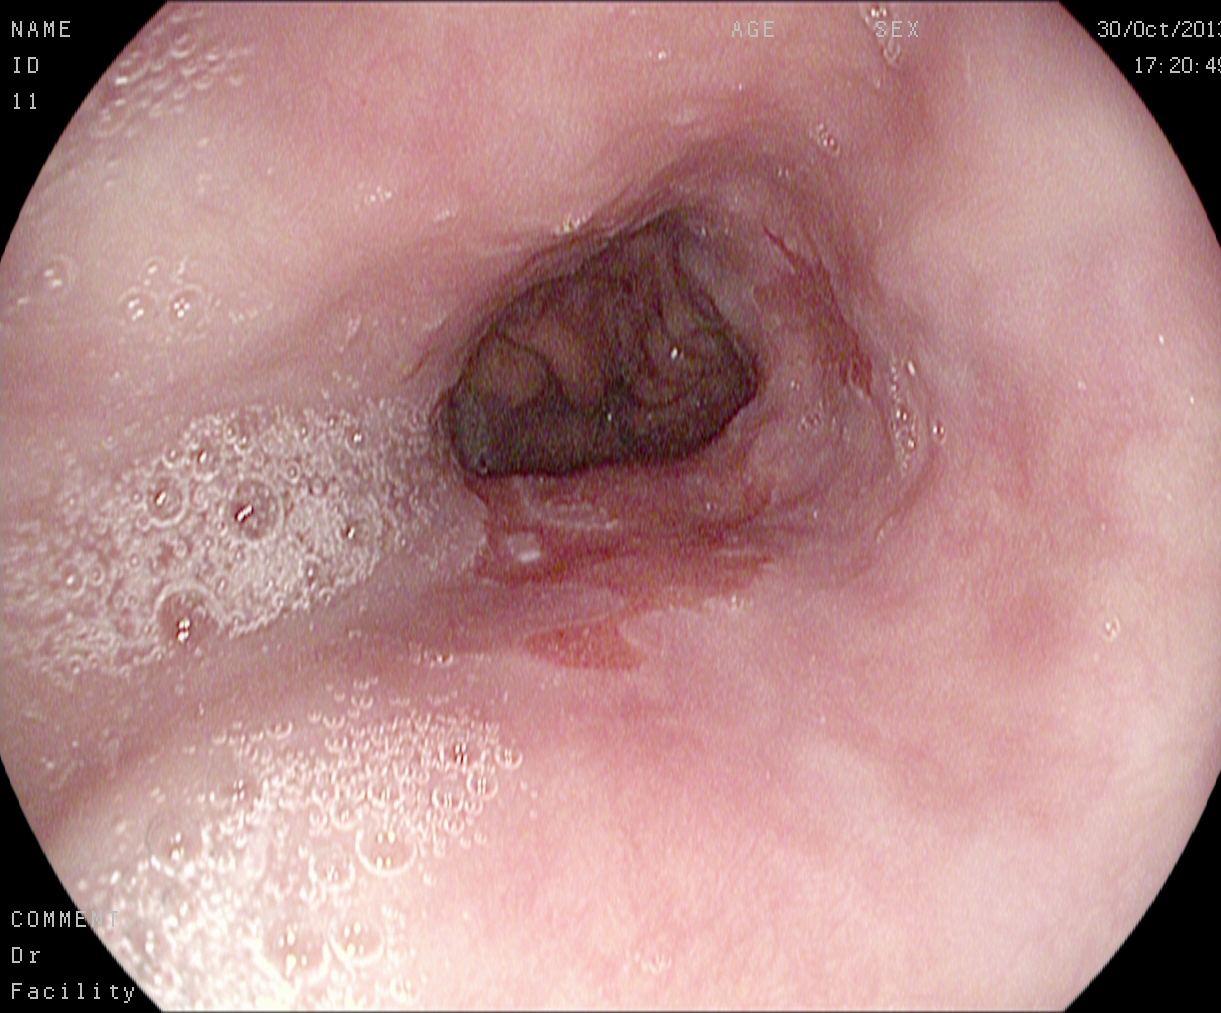Gastroscopy — Barrett's esophagus, short segment.